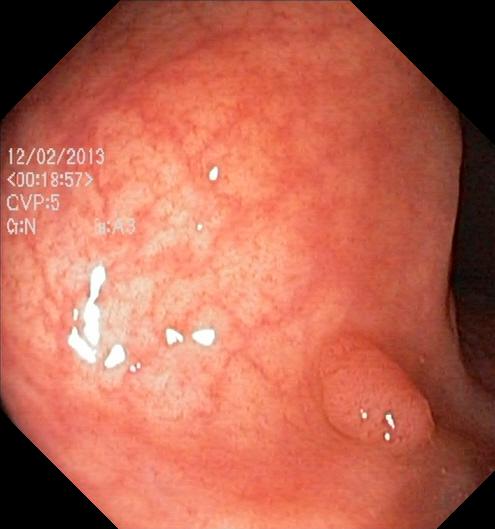Colonoscopy — colorectal polyp(s).